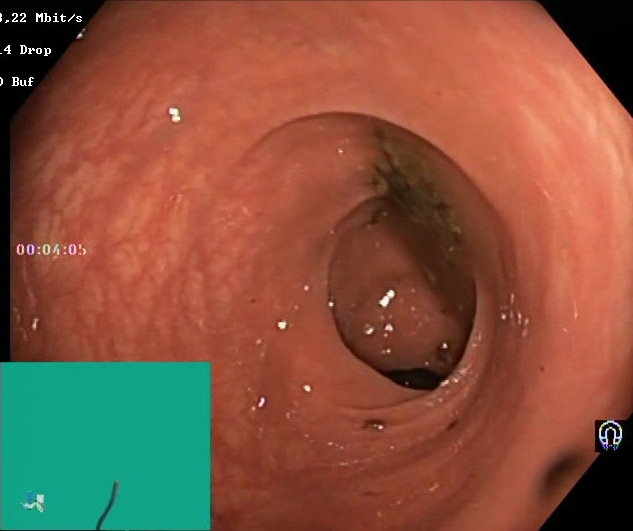Lower-GI endoscopy — Boston Bowel Preparation Scale score 0–1 (inadequate preparation).